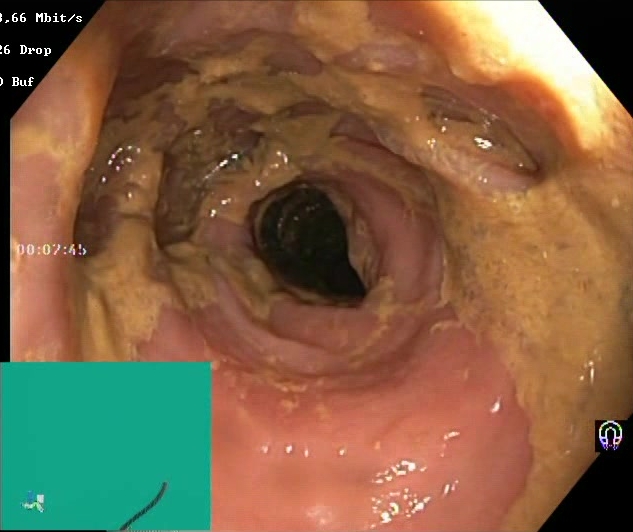Lower gastrointestinal endoscopy — Boston Bowel Preparation Scale score 0–1 (inadequate preparation).